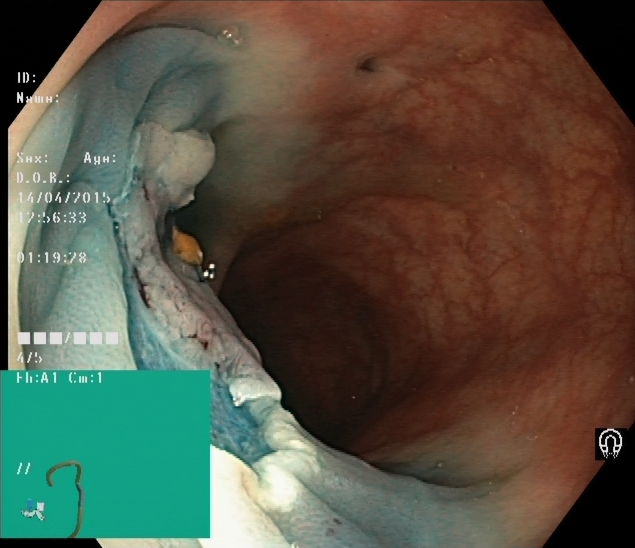Lower-GI endoscopy. Tract: lower GI tract. Finding: dyed resection margins (post-polypectomy).